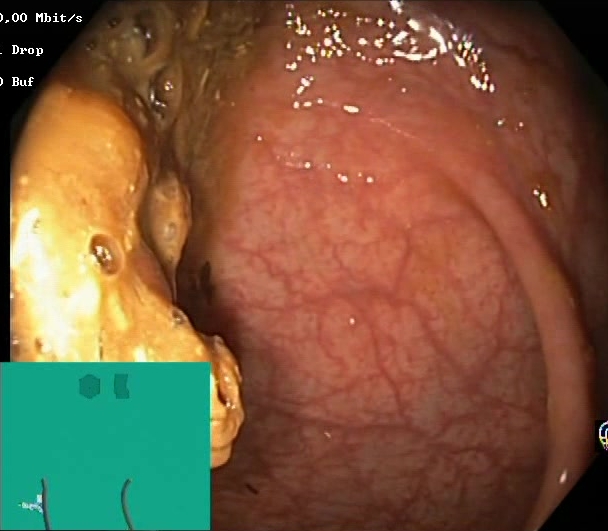{"modality": "lower gastrointestinal endoscopy", "tract": "lower GI tract", "finding": "Boston Bowel Preparation Scale score 0\u20131 (inadequate preparation)"}